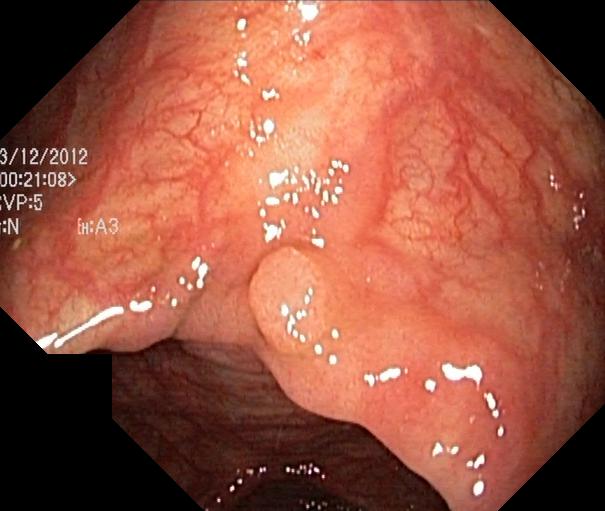Endoscopic frame of the lower GI tract showing colorectal polyp(s).